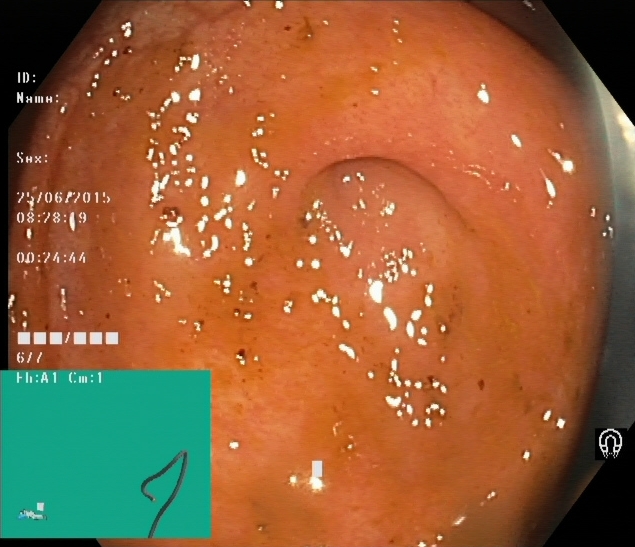cecum.